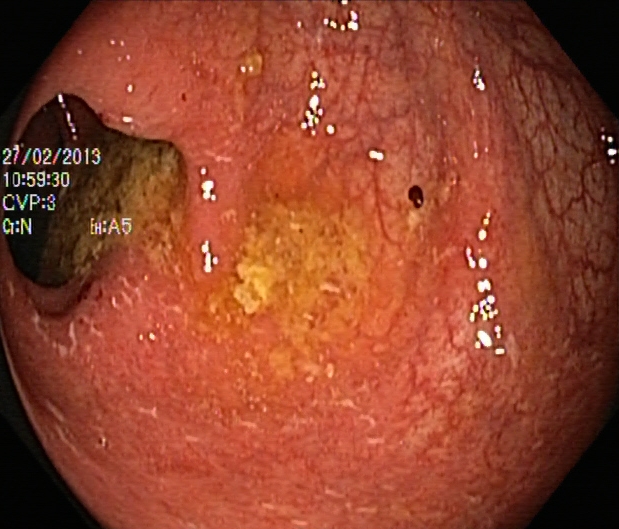{"modality": "lower gastrointestinal endoscopy", "tract": "lower GI tract", "finding": "ulcerative colitis, Mayo endoscopic subscore 1"}